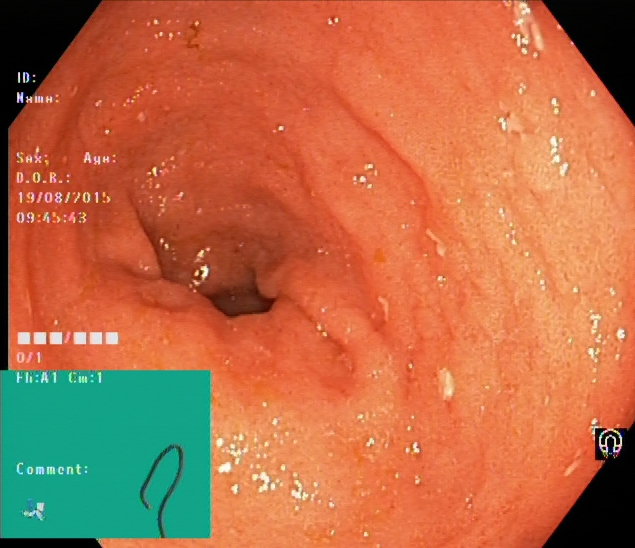Ulcerative colitis, Mayo endoscopic subscore 2.